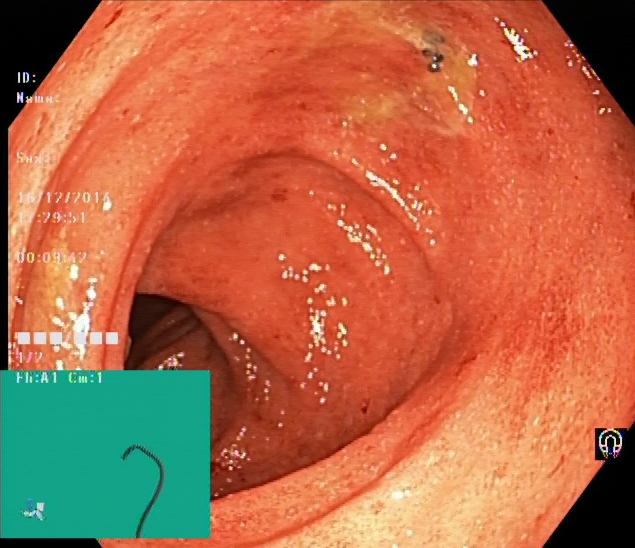Colonoscopy. Finding: UC, Mayo endoscopic subscore 2.